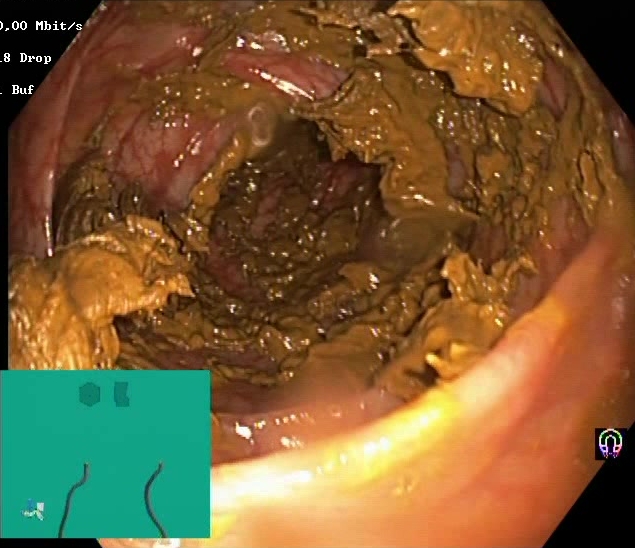Colonoscopy. Finding: Boston Bowel Preparation Scale score 0–1 (inadequate preparation).